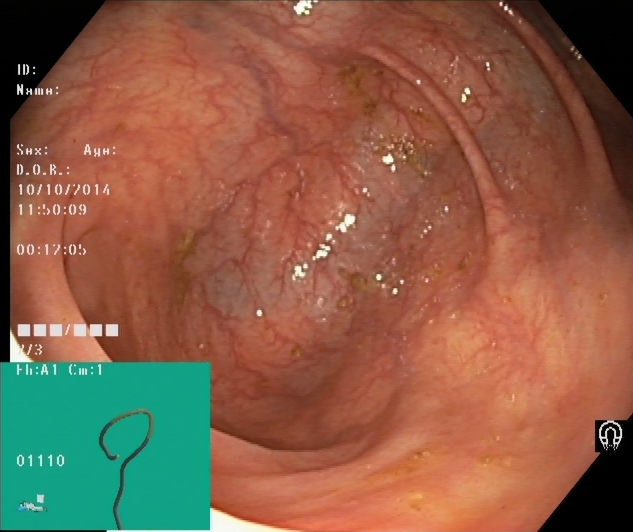PROCEDURE: Colonoscopy.
FINDINGS: Cecum.